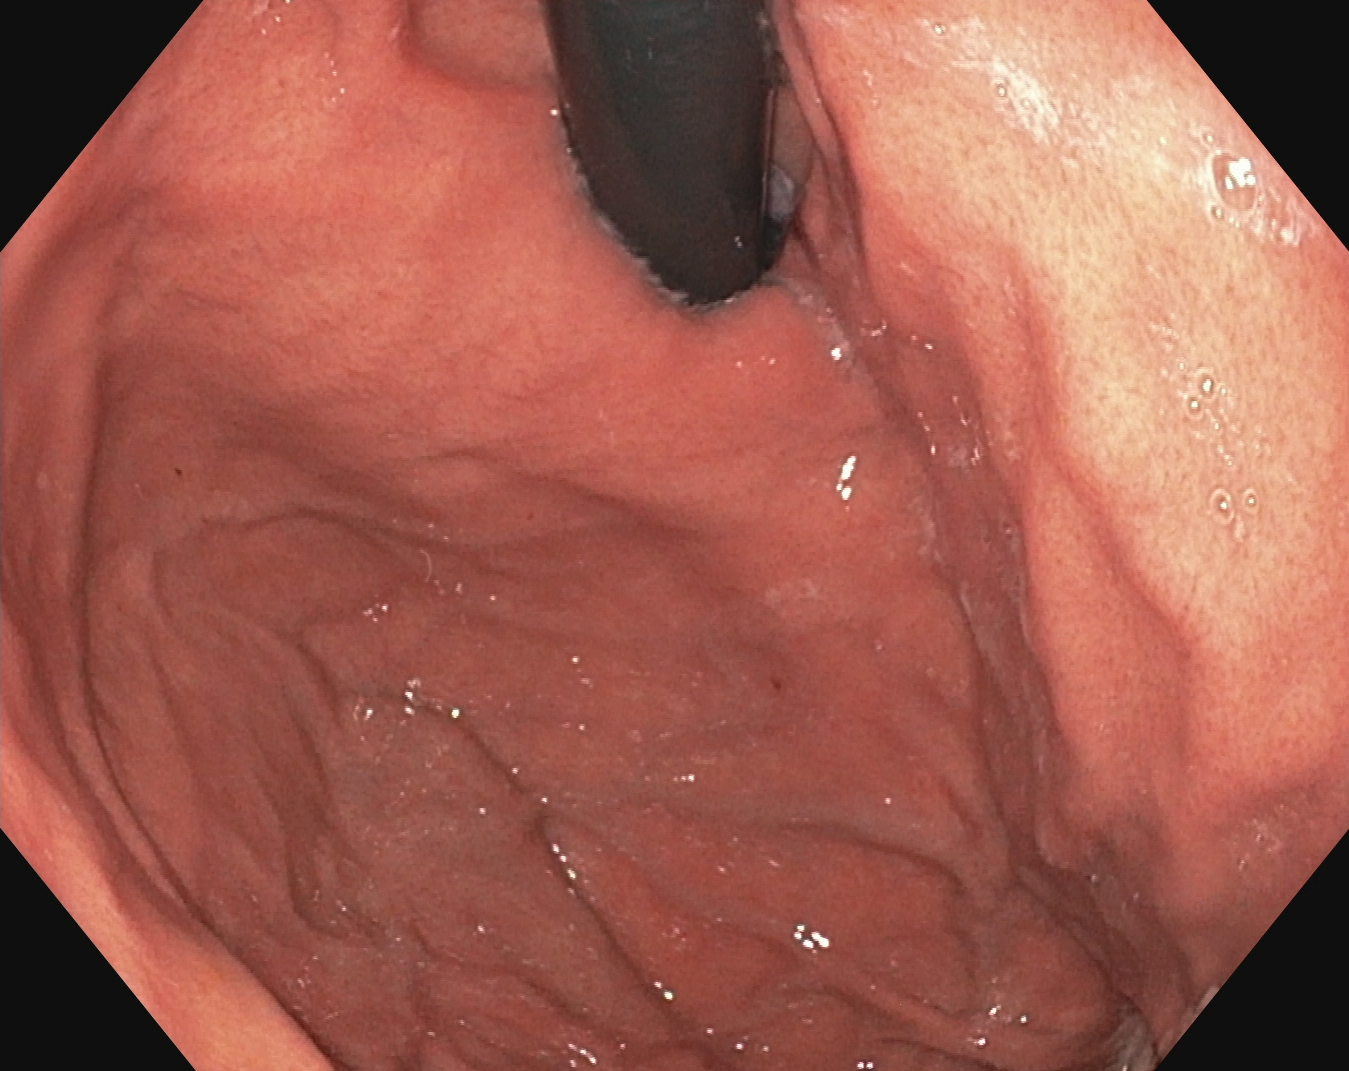This endoscopic image shows stomach in retroflexion.